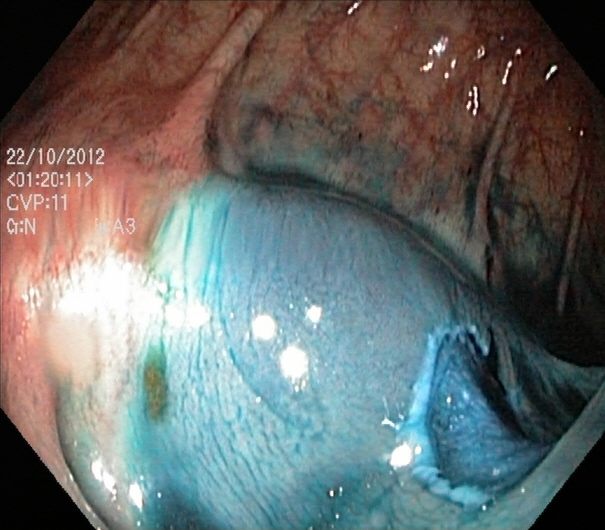Lower gastrointestinal endoscopy. Therapeutic intervention. Finding: dyed resection margins (post-polypectomy).